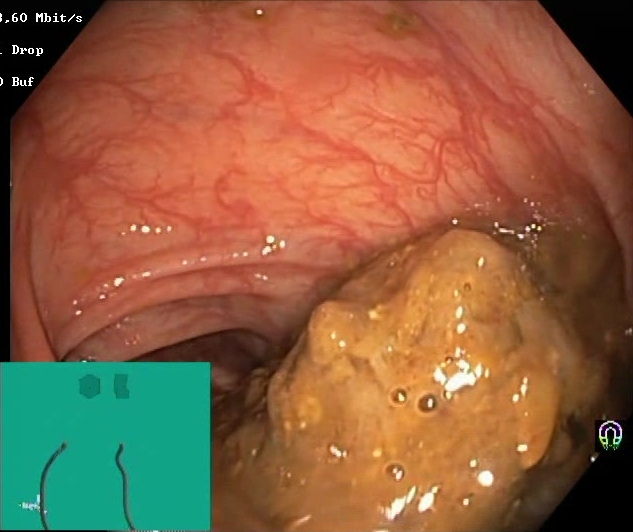This endoscopic image shows BBPS score 0–1 (inadequate preparation).